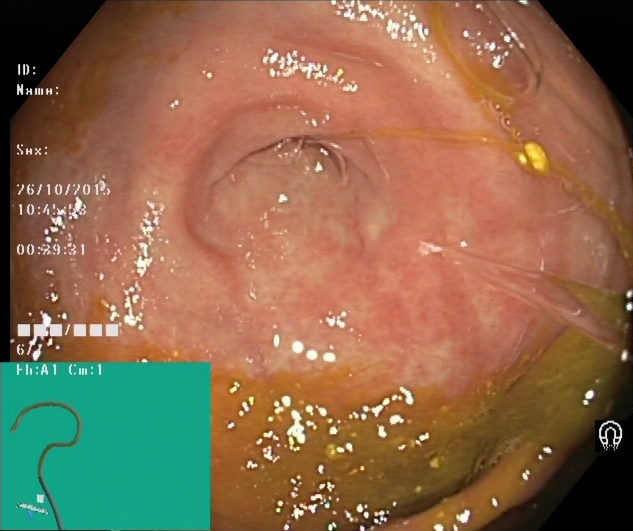This endoscopy frame of the lower GI tract shows cecum.